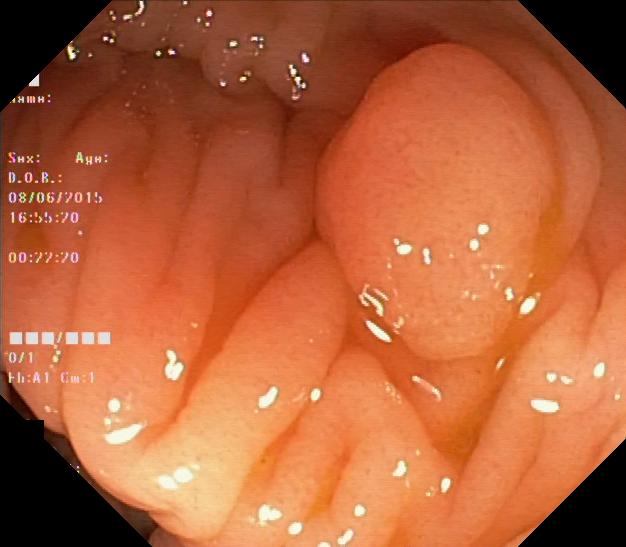{"modality": "colonoscopy", "tract": "lower GI tract", "category": "pathological finding", "finding": "colorectal polyp(s)"}